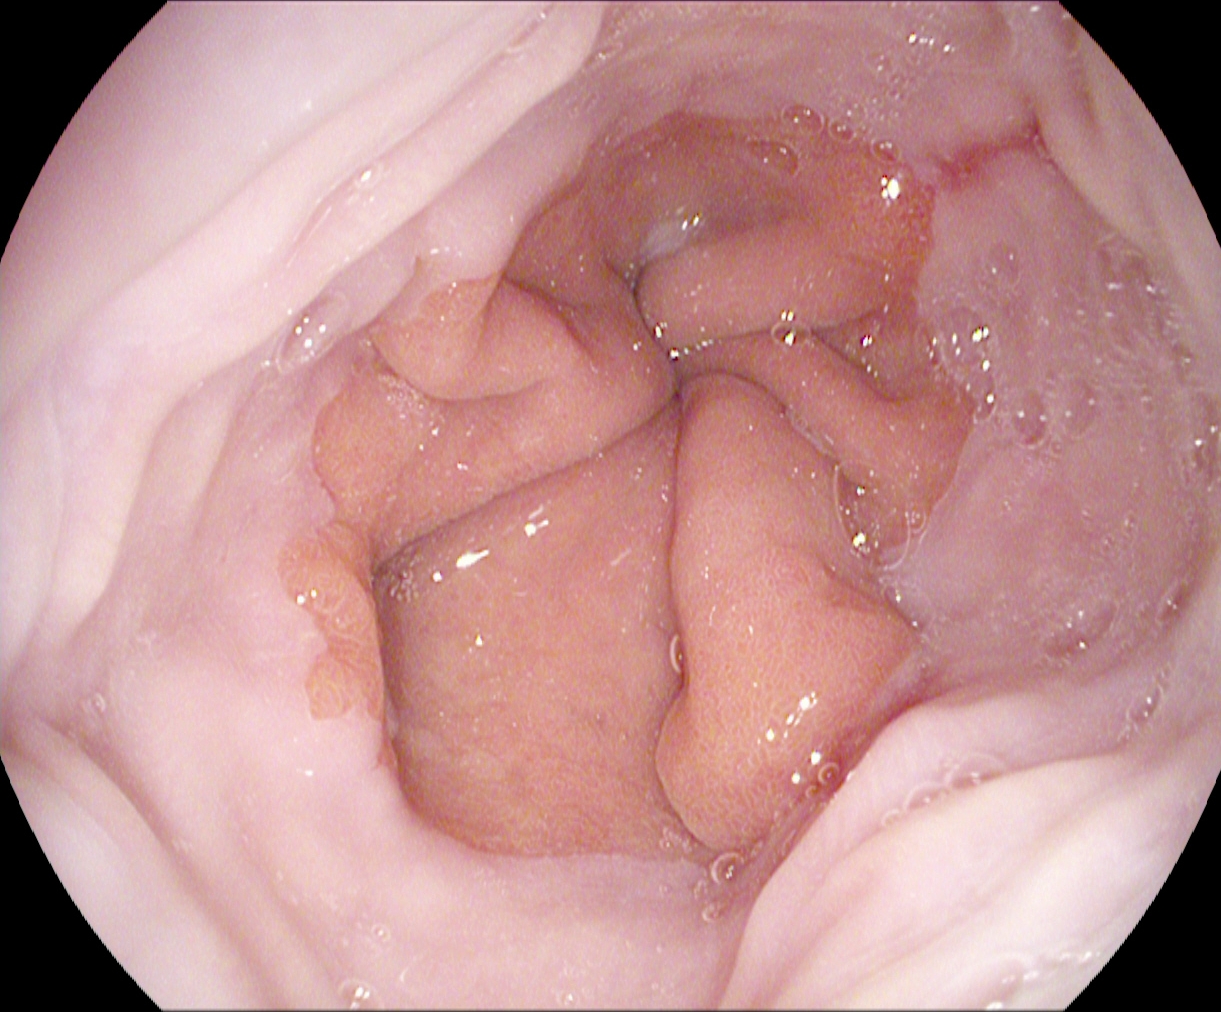PROCEDURE: EGD.
CATEGORY: Pathological finding.
FINDINGS: Reflux esophagitis, Los Angeles grade A.